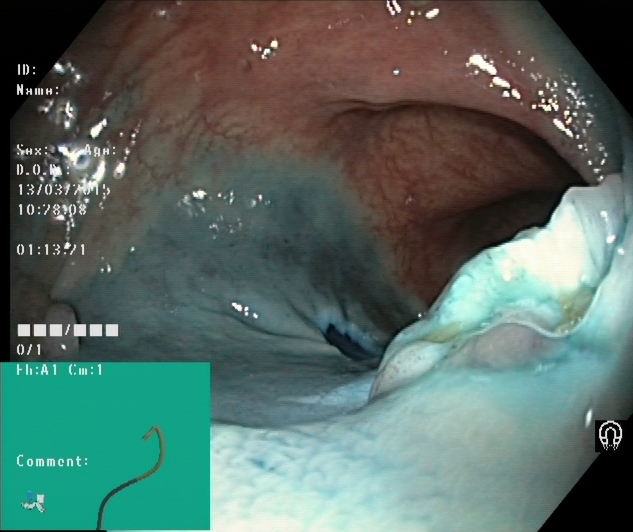{"modality": "lower gastrointestinal endoscopy", "tract": "lower GI tract", "finding": "dyed resection margins (post-polypectomy)"}